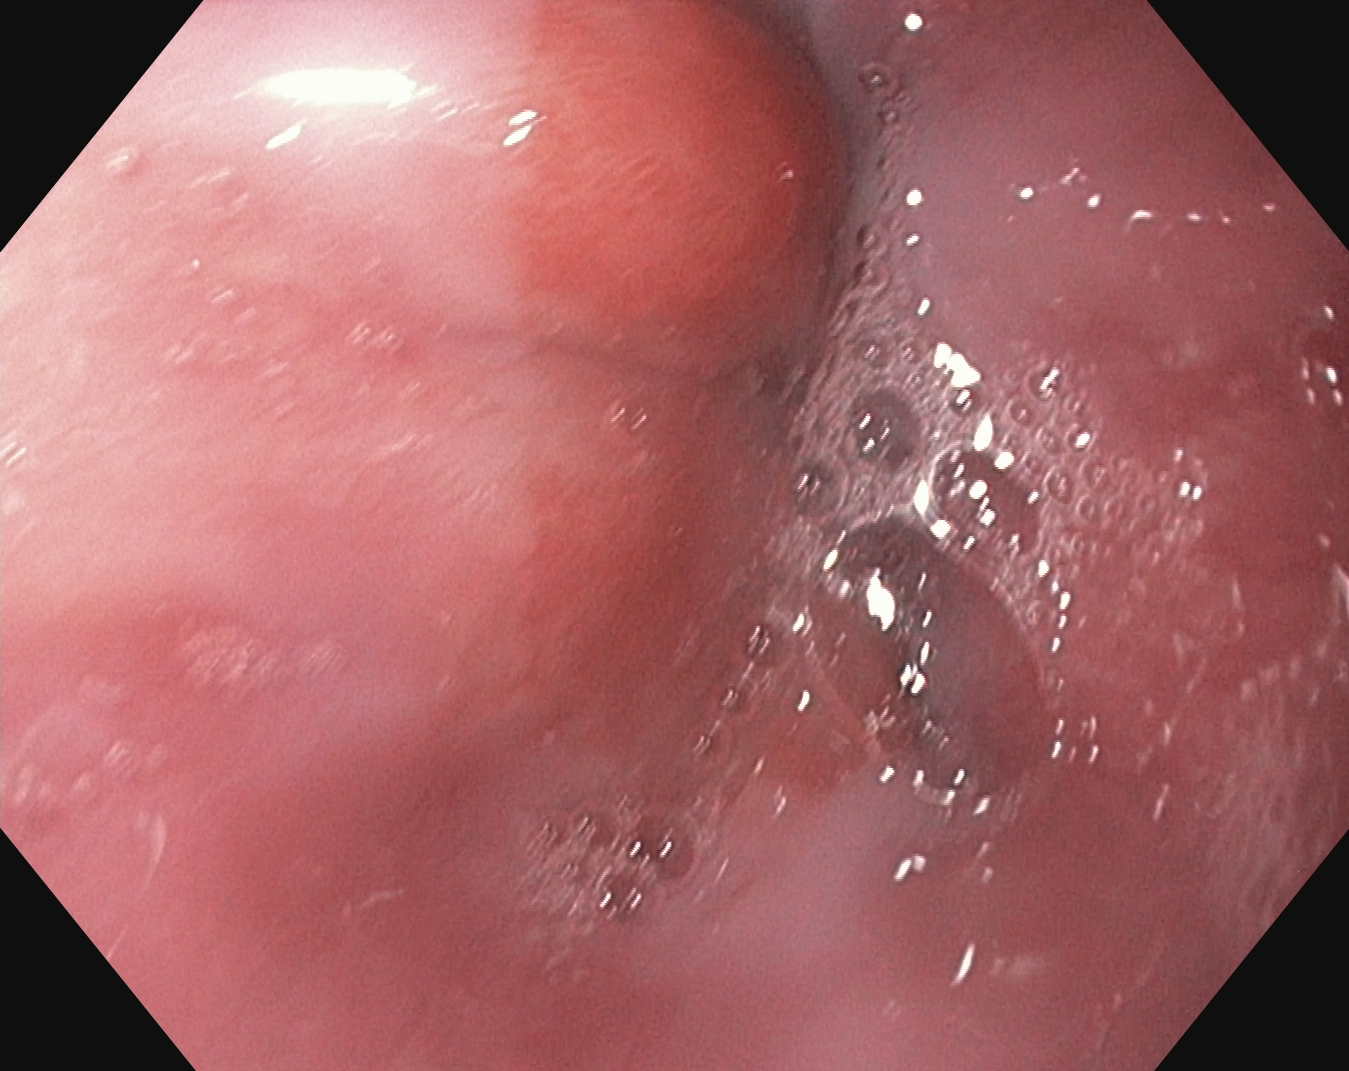EGD. Tract: upper GI tract. Finding: Z-line (gastroesophageal junction).